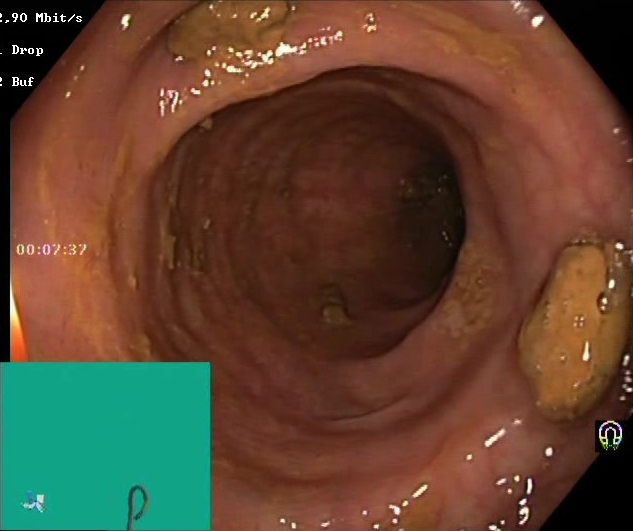modality: lower gastrointestinal endoscopy | tract: lower GI tract | category: mucosal-view quality | finding: impacted stool